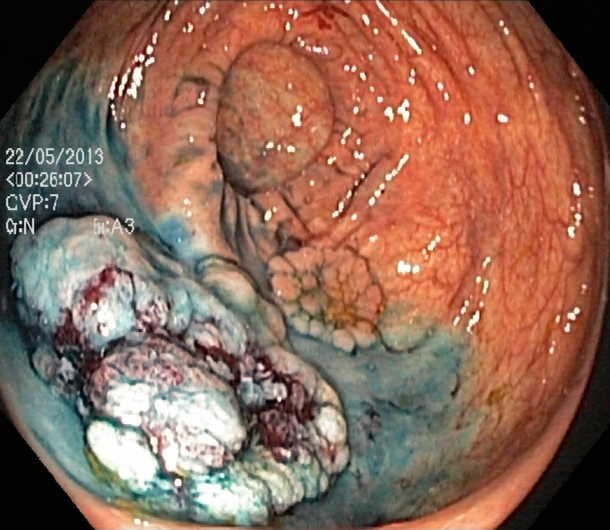Lower gastrointestinal endoscopy image of the lower GI tract showing dyed and lifted polyp (pre-resection).